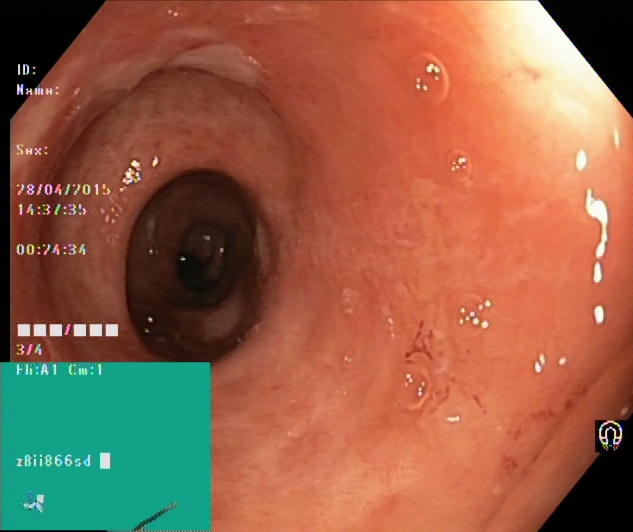This endoscopy frame of the lower GI tract shows ulcerative colitis, Mayo endoscopic subscore 1.